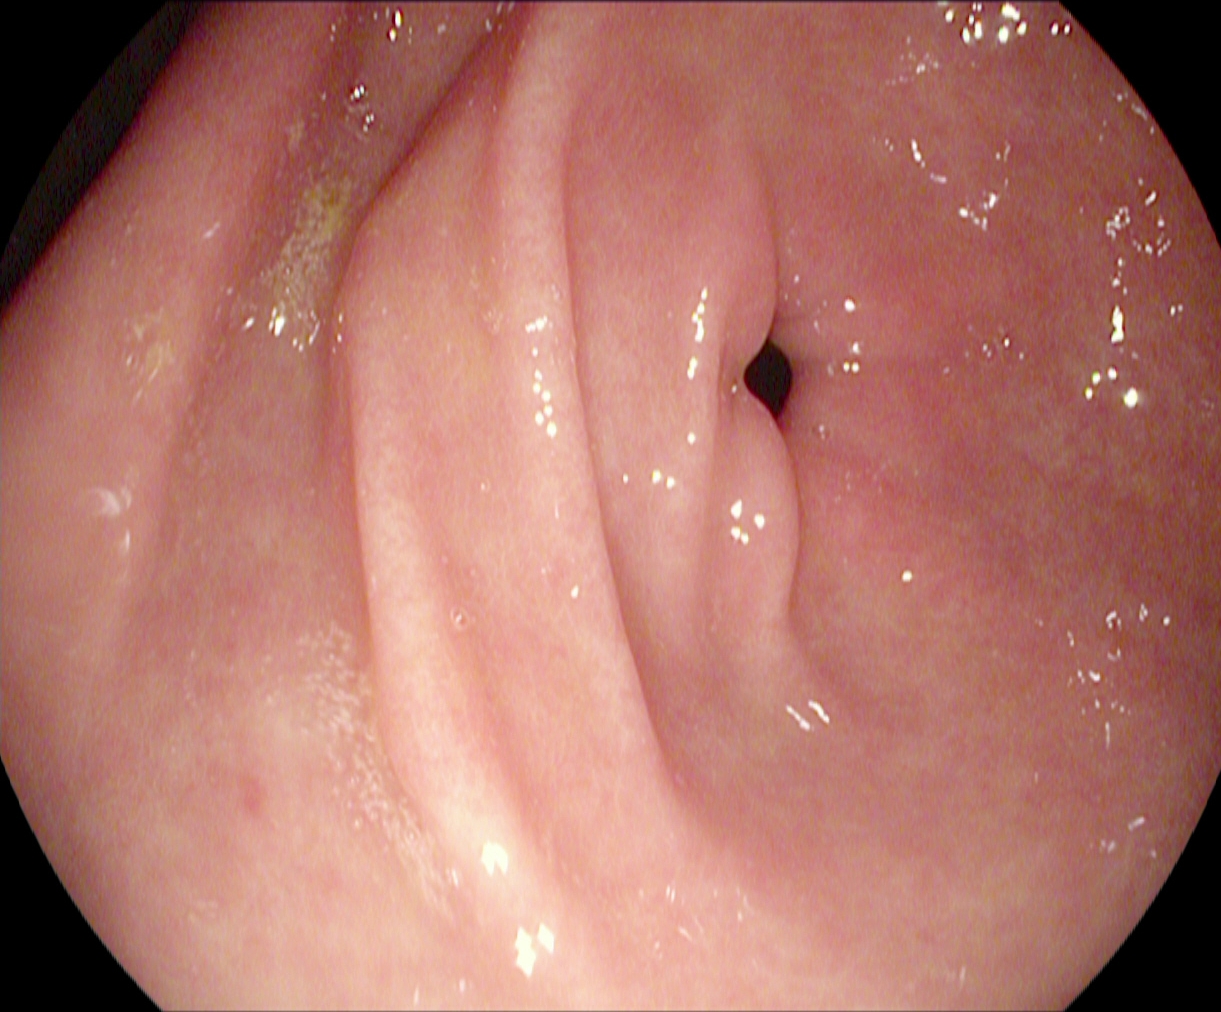Gastrointestinal endoscopy image of the upper GI tract showing pylorus.